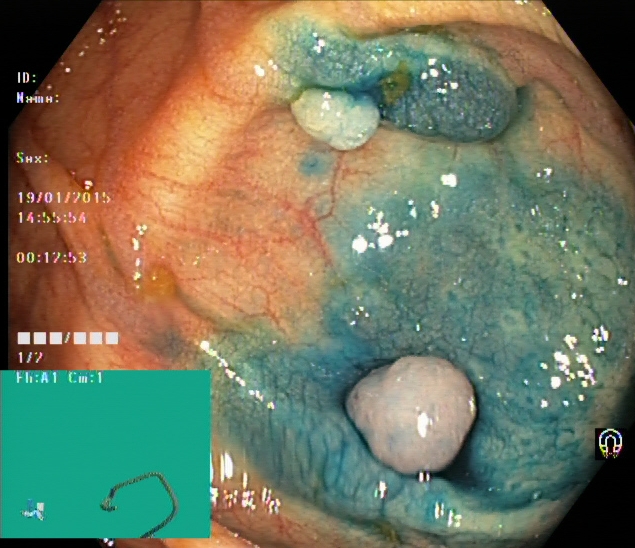PROCEDURE: Lower-GI endoscopy.
FINDINGS: Dyed and lifted polyp (pre-resection).